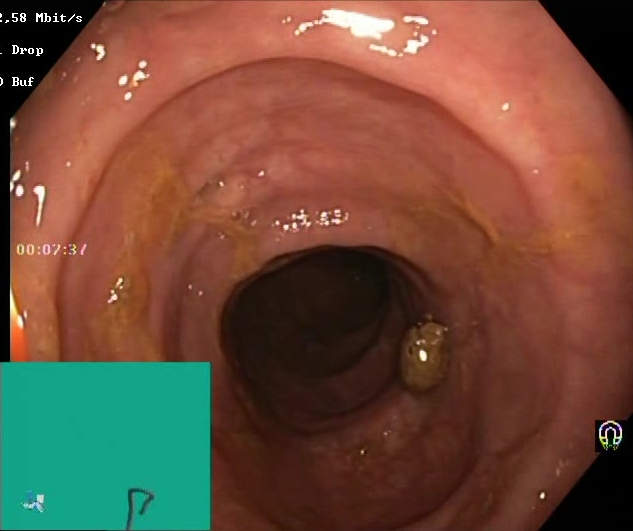modality: lower gastrointestinal endoscopy
tract: lower GI tract
finding: Boston Bowel Preparation Scale score 2–3 (adequate preparation)